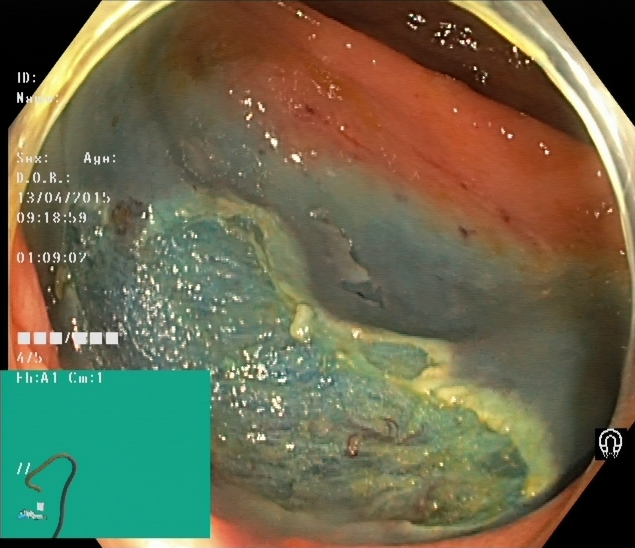{"modality": "colonoscopy", "category": "therapeutic intervention", "finding": "dyed resection margins (post-polypectomy)"}